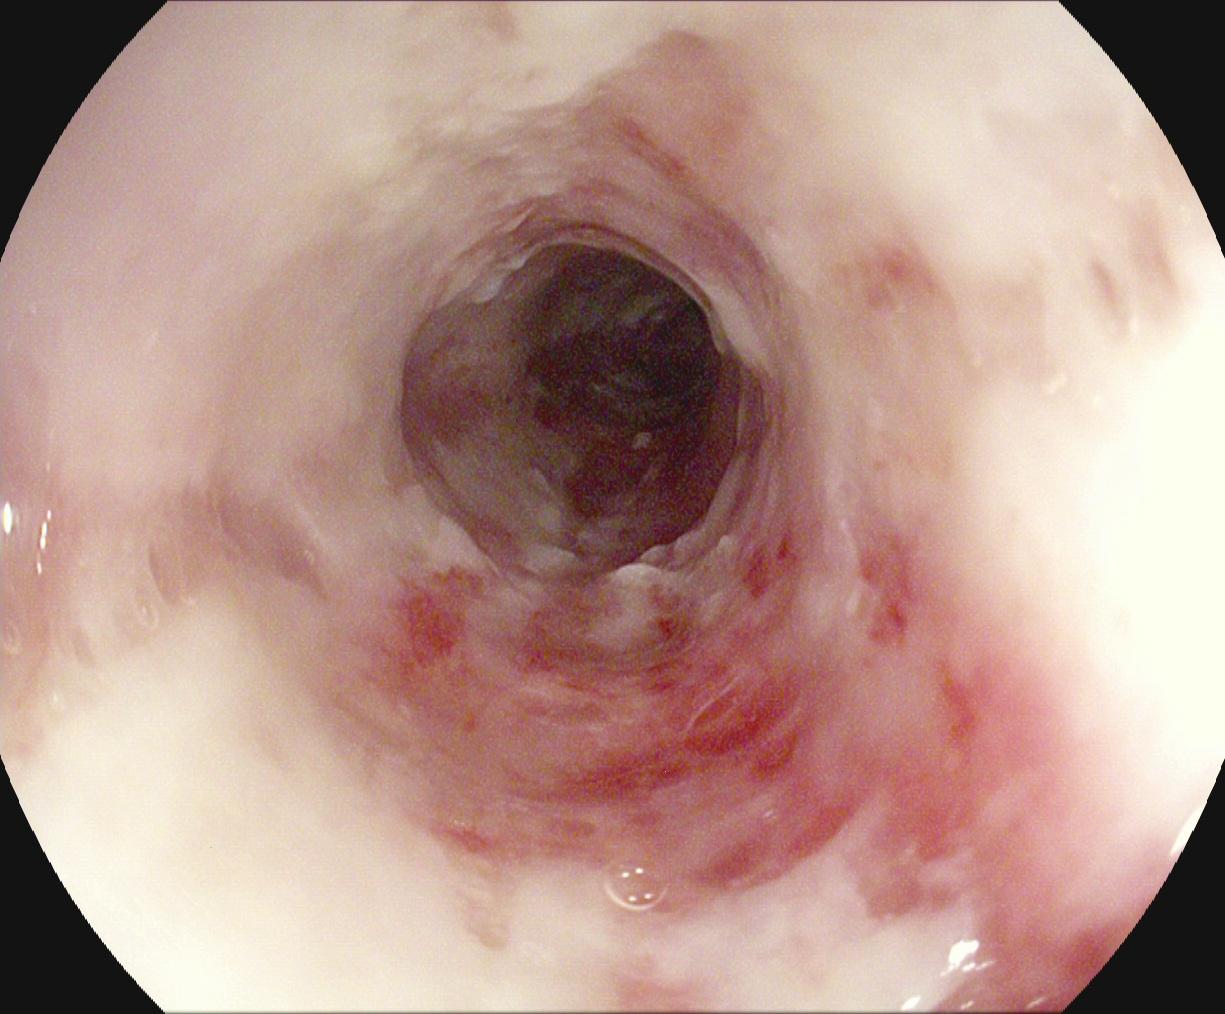EGD image showing reflux esophagitis, LA grade B–D.